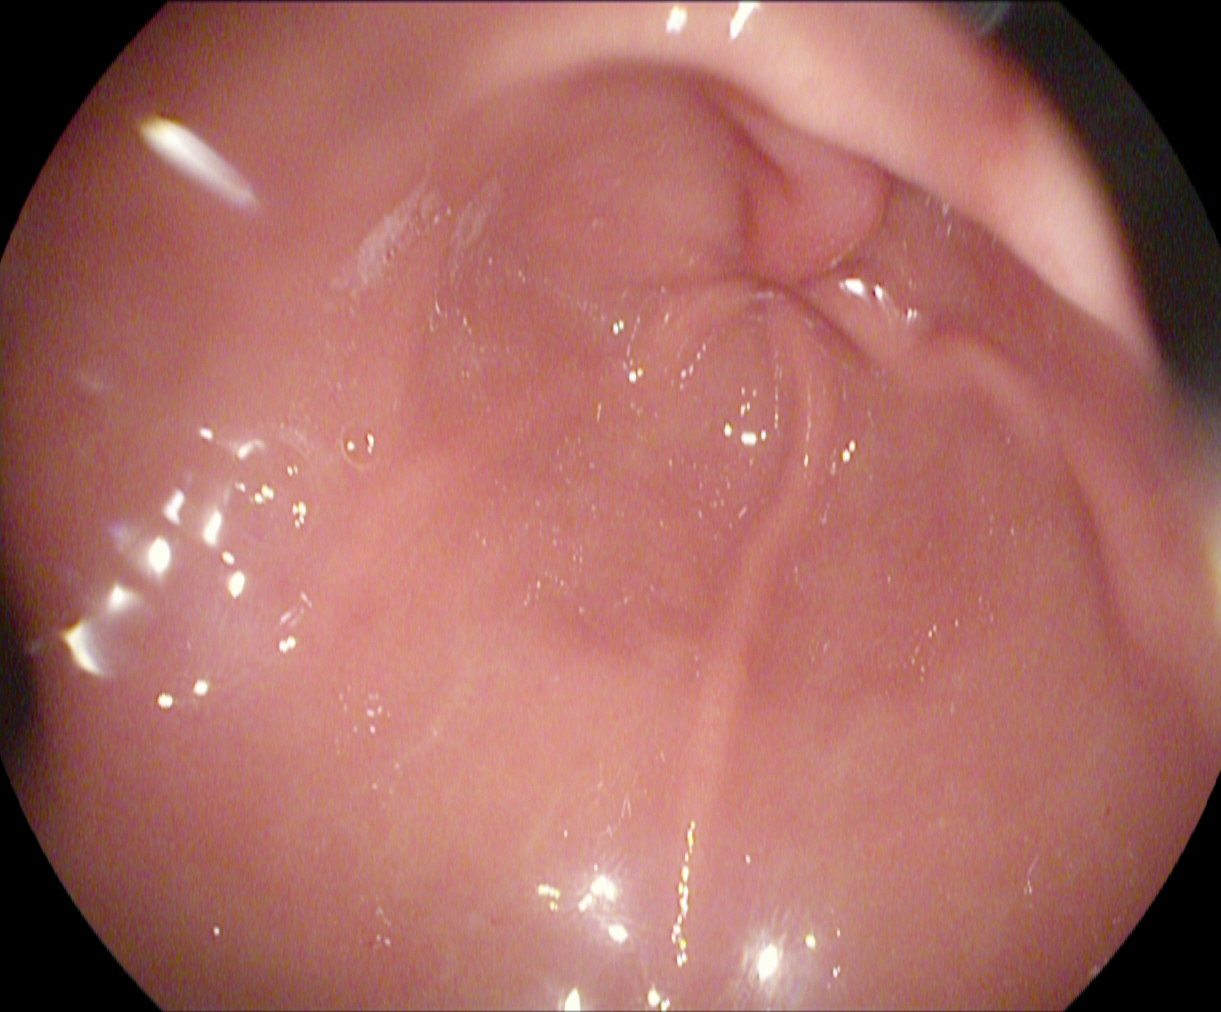Endoscopic frame showing pylorus.